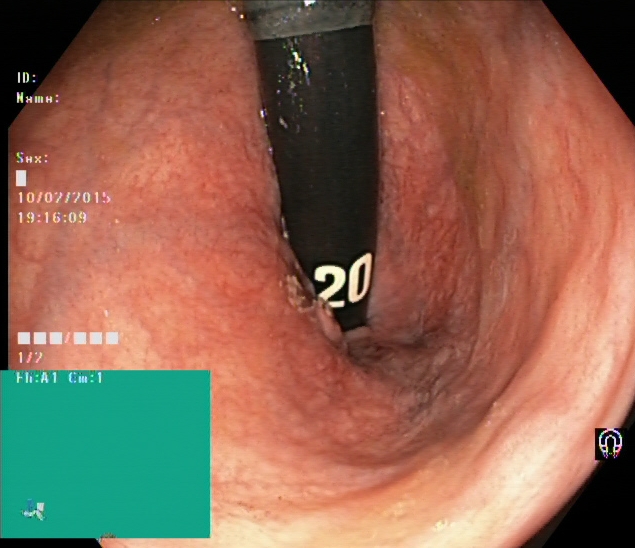{"modality": "lower gastrointestinal endoscopy", "finding": "rectum in retroflexion"}